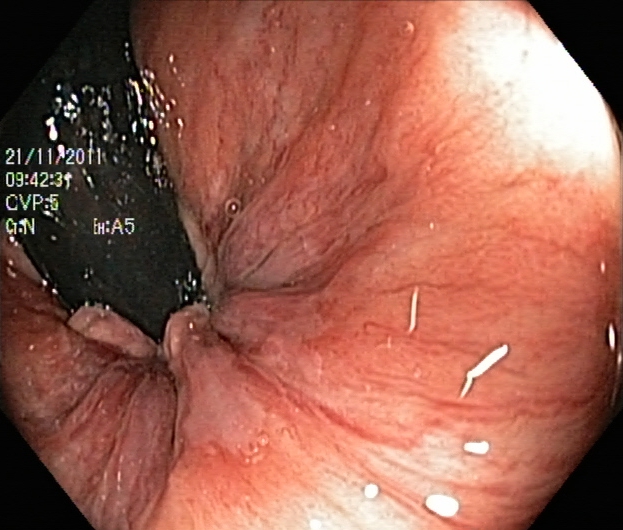PROCEDURE: Lower-GI endoscopy.
FINDINGS: Rectum in retroflexion.